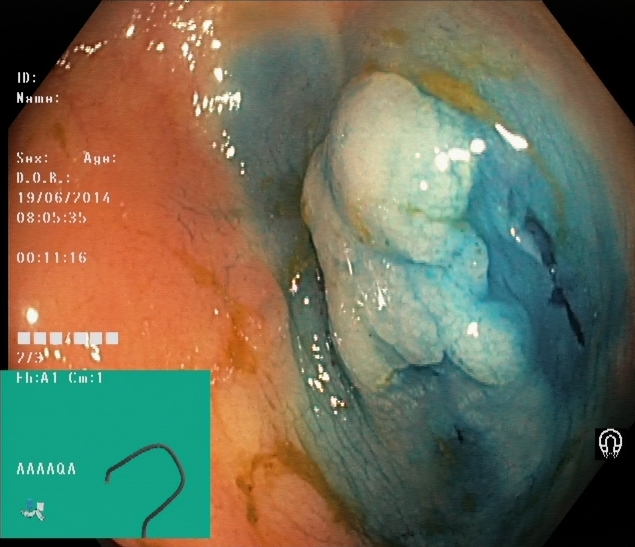This endoscopy frame of the lower GI tract shows dyed and lifted polyp (pre-resection).